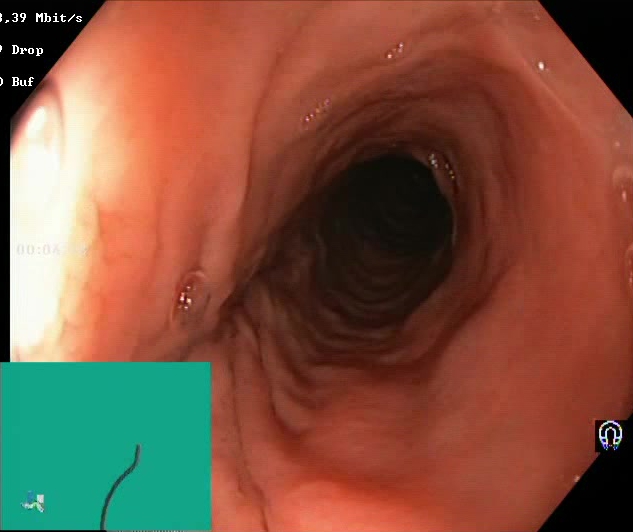This endoscopic image shows Boston Bowel Preparation Scale score 2–3 (adequate preparation).